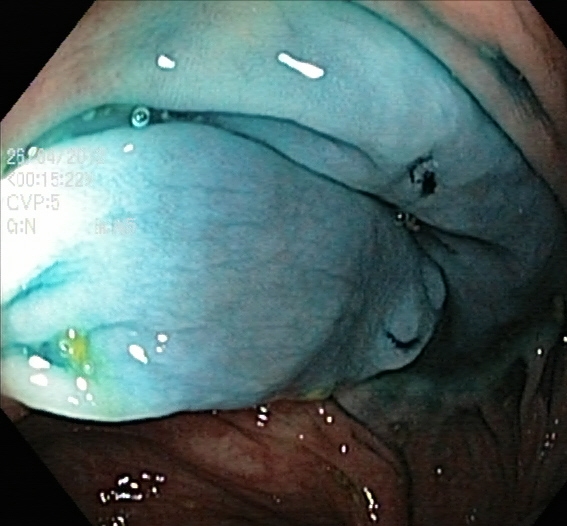Dyed resection margins (post-polypectomy).